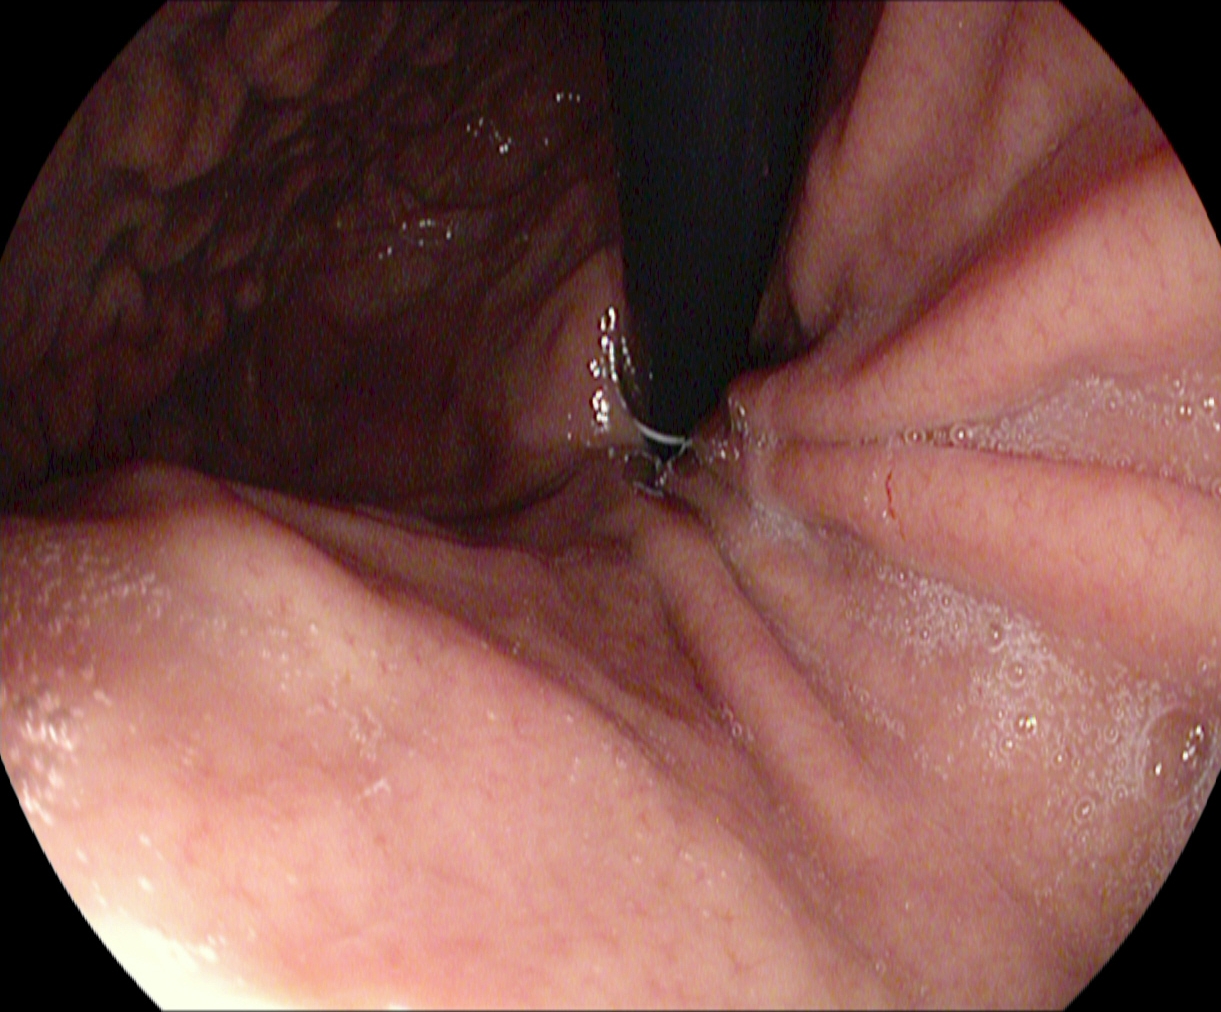stomach in retroflexion.